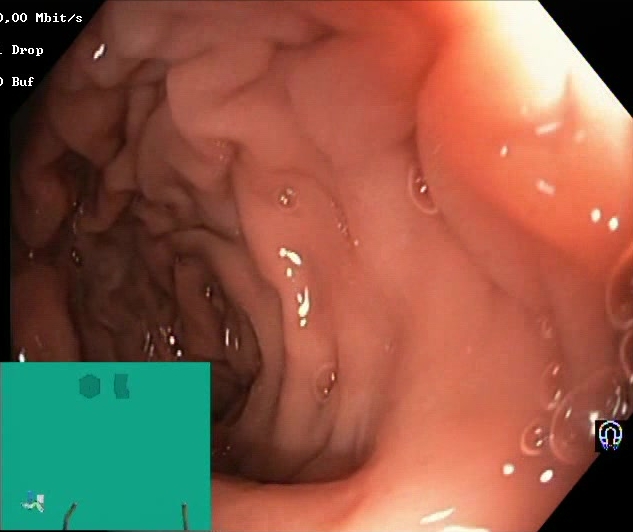This endoscopy frame of the lower GI tract shows Boston Bowel Preparation Scale score 2–3 (adequate preparation).